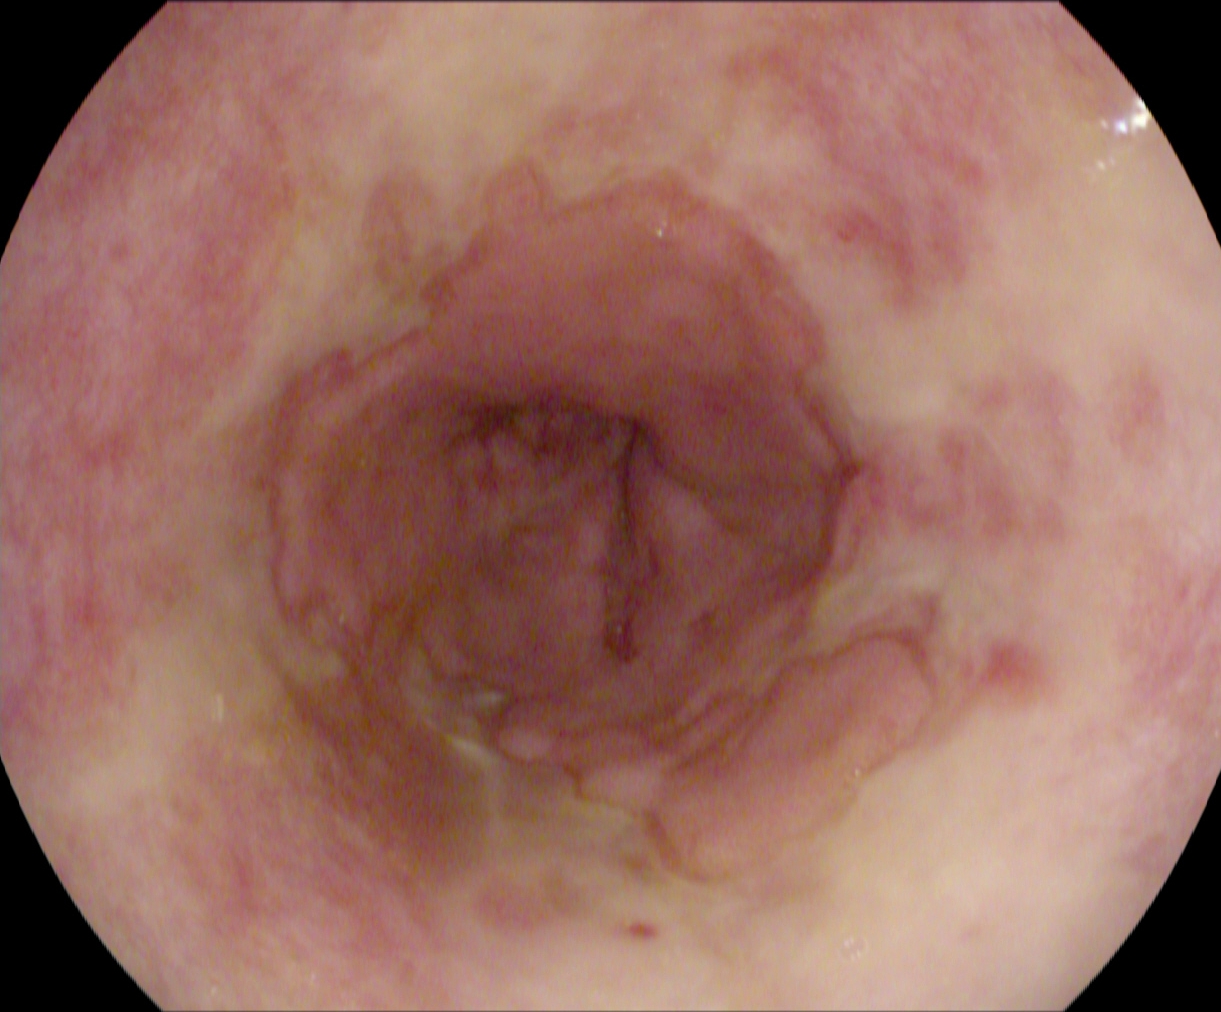PROCEDURE: EGD.
FINDINGS: Reflux esophagitis, LA grade B–D.